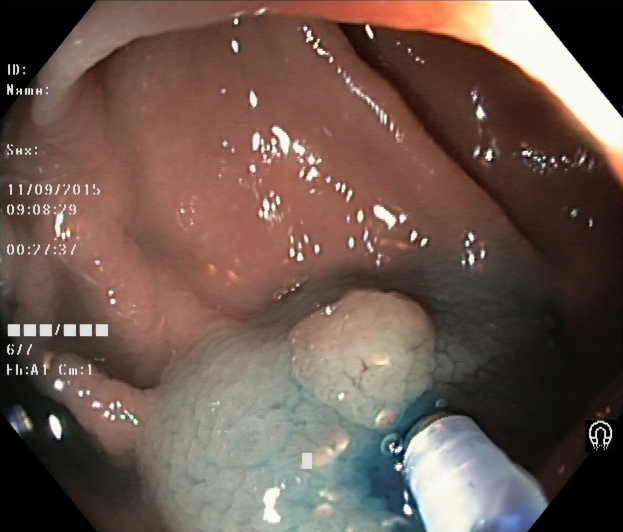Gastrointestinal endoscopy image showing dyed and lifted polyp (pre-resection).